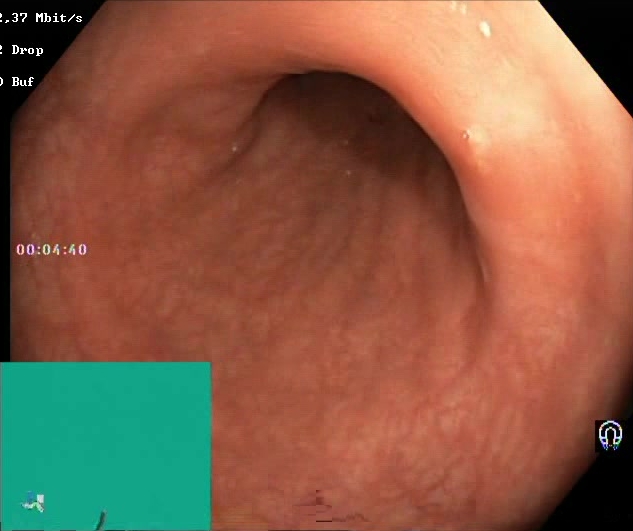This endoscopy frame of the lower GI tract shows Boston Bowel Preparation Scale score 2–3 (adequate preparation).